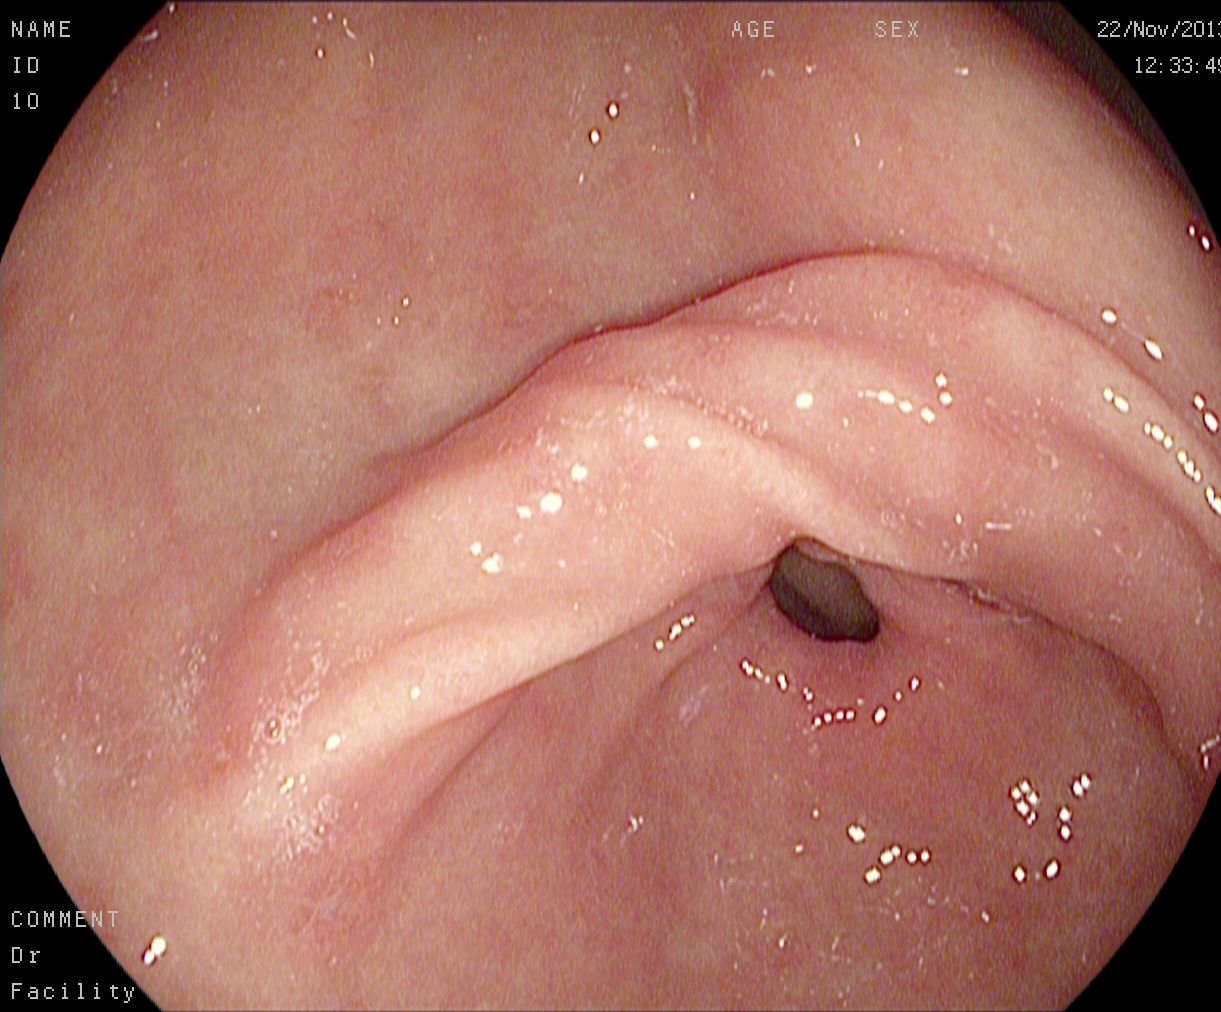Pylorus.